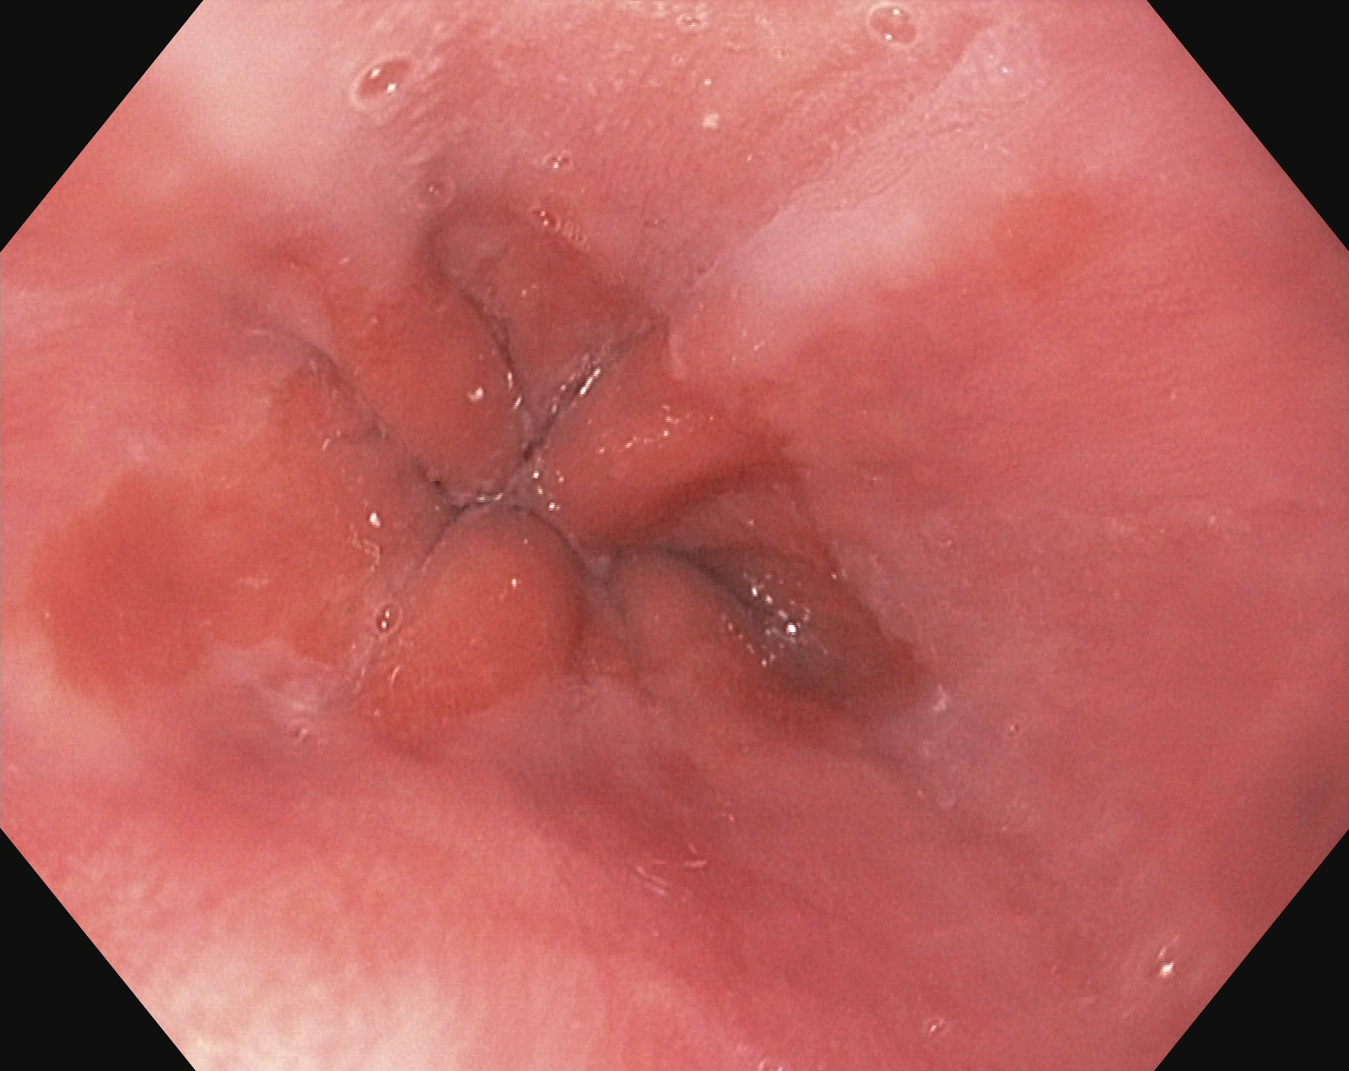Esophagogastroduodenoscopy — Z-line (gastroesophageal junction).